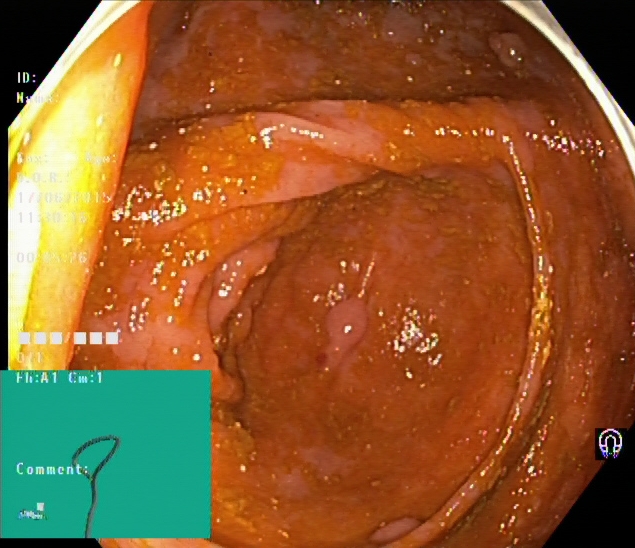PROCEDURE: Lower gastrointestinal endoscopy.
CATEGORY: Anatomical landmark.
FINDINGS: Cecum.